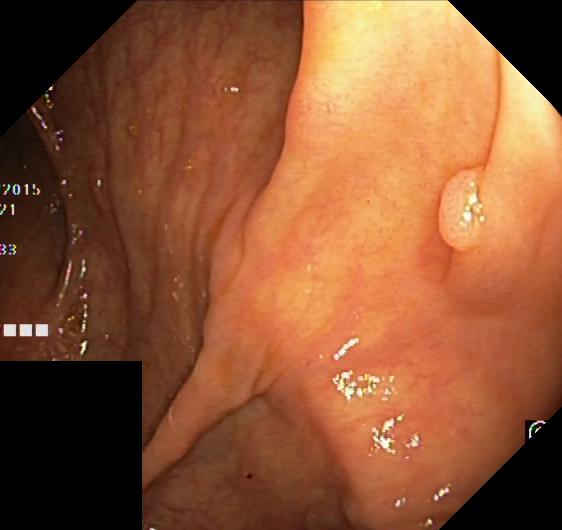modality: lower-GI endoscopy | tract: lower GI tract | finding: colorectal polyp(s)